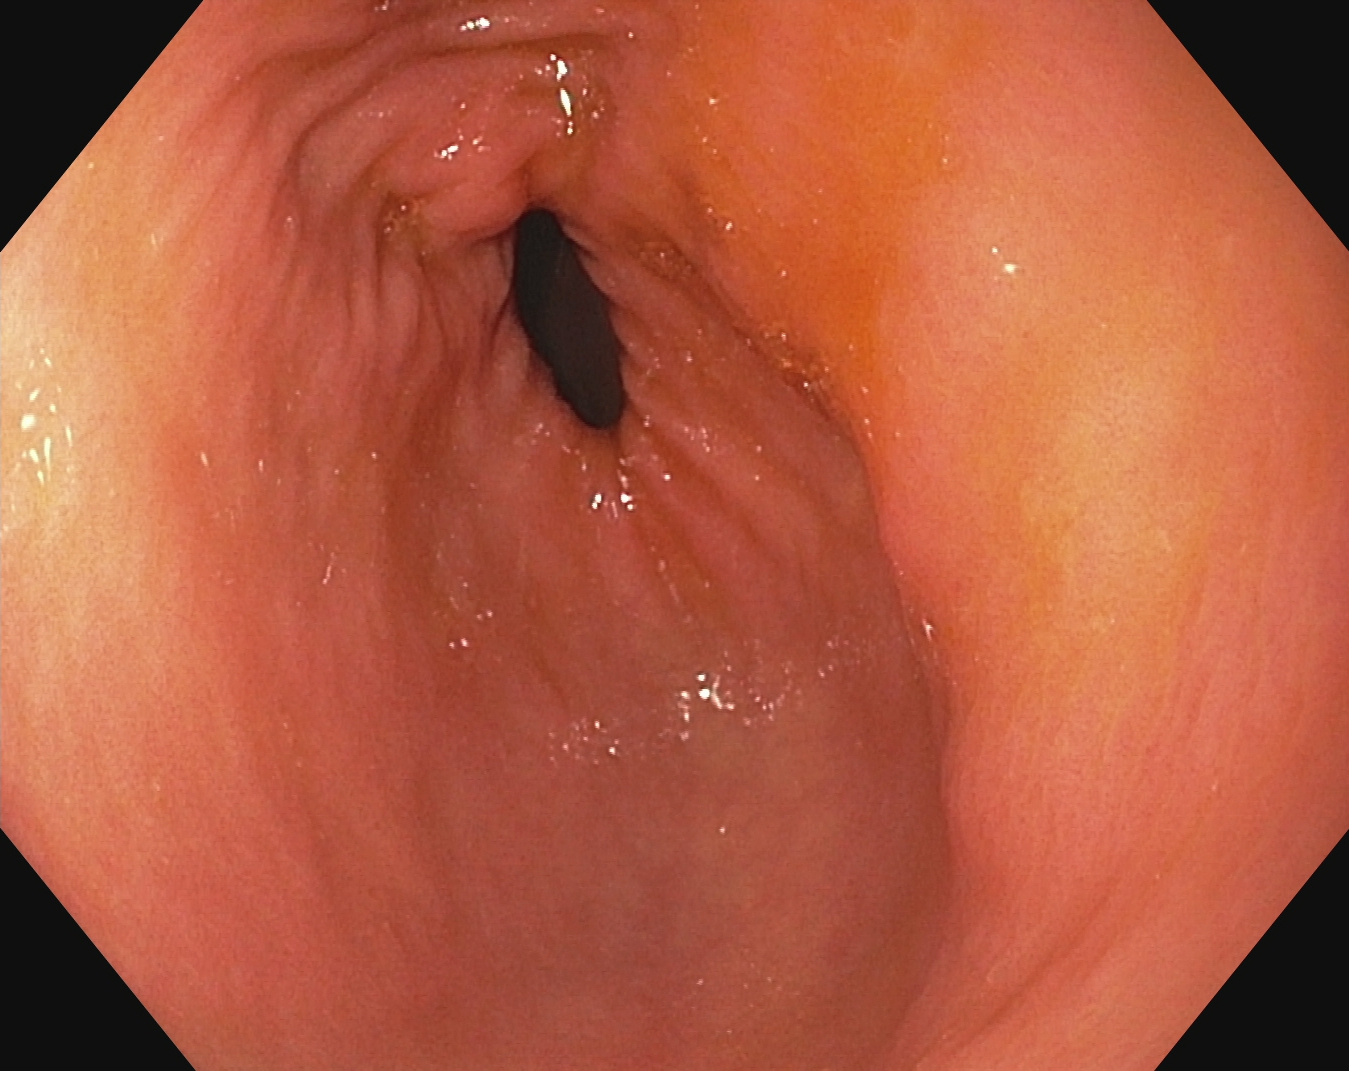modality: EGD; finding: pylorus